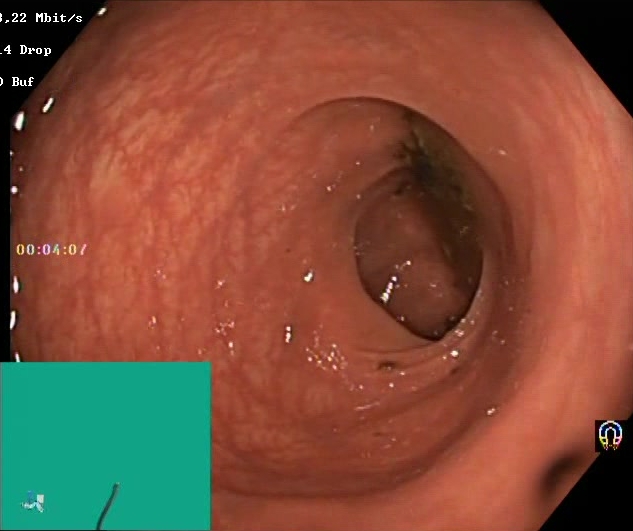PROCEDURE: Colonoscopy.
FINDINGS: Boston Bowel Preparation Scale score 0–1 (inadequate preparation).